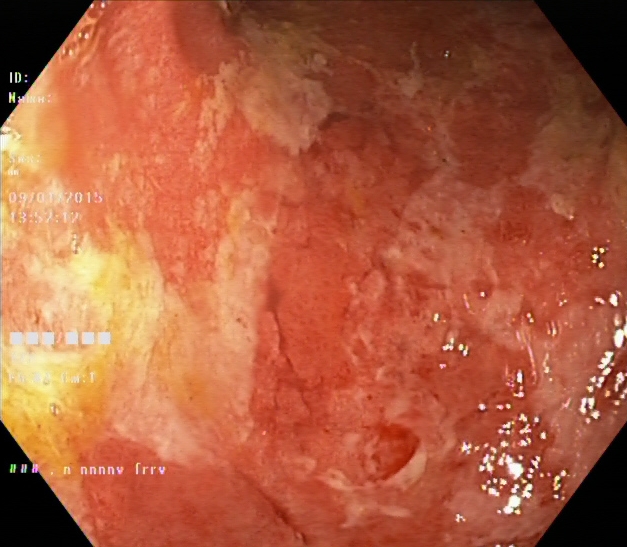modality: lower-GI endoscopy; finding: ulcerative colitis, Mayo endoscopic subscore 3